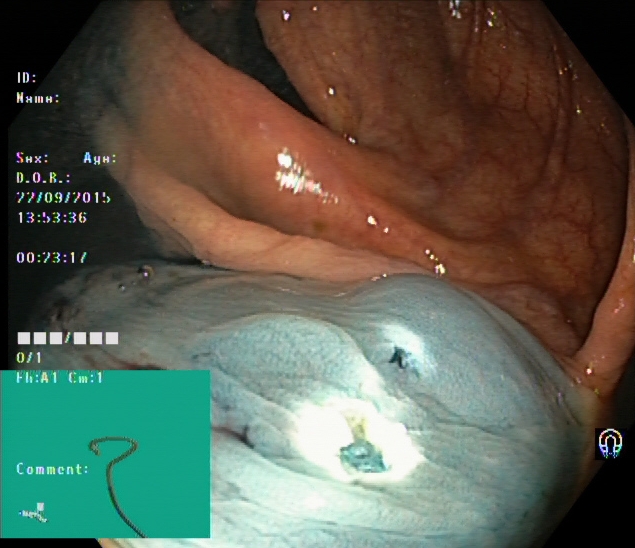Dyed resection margins (post-polypectomy).